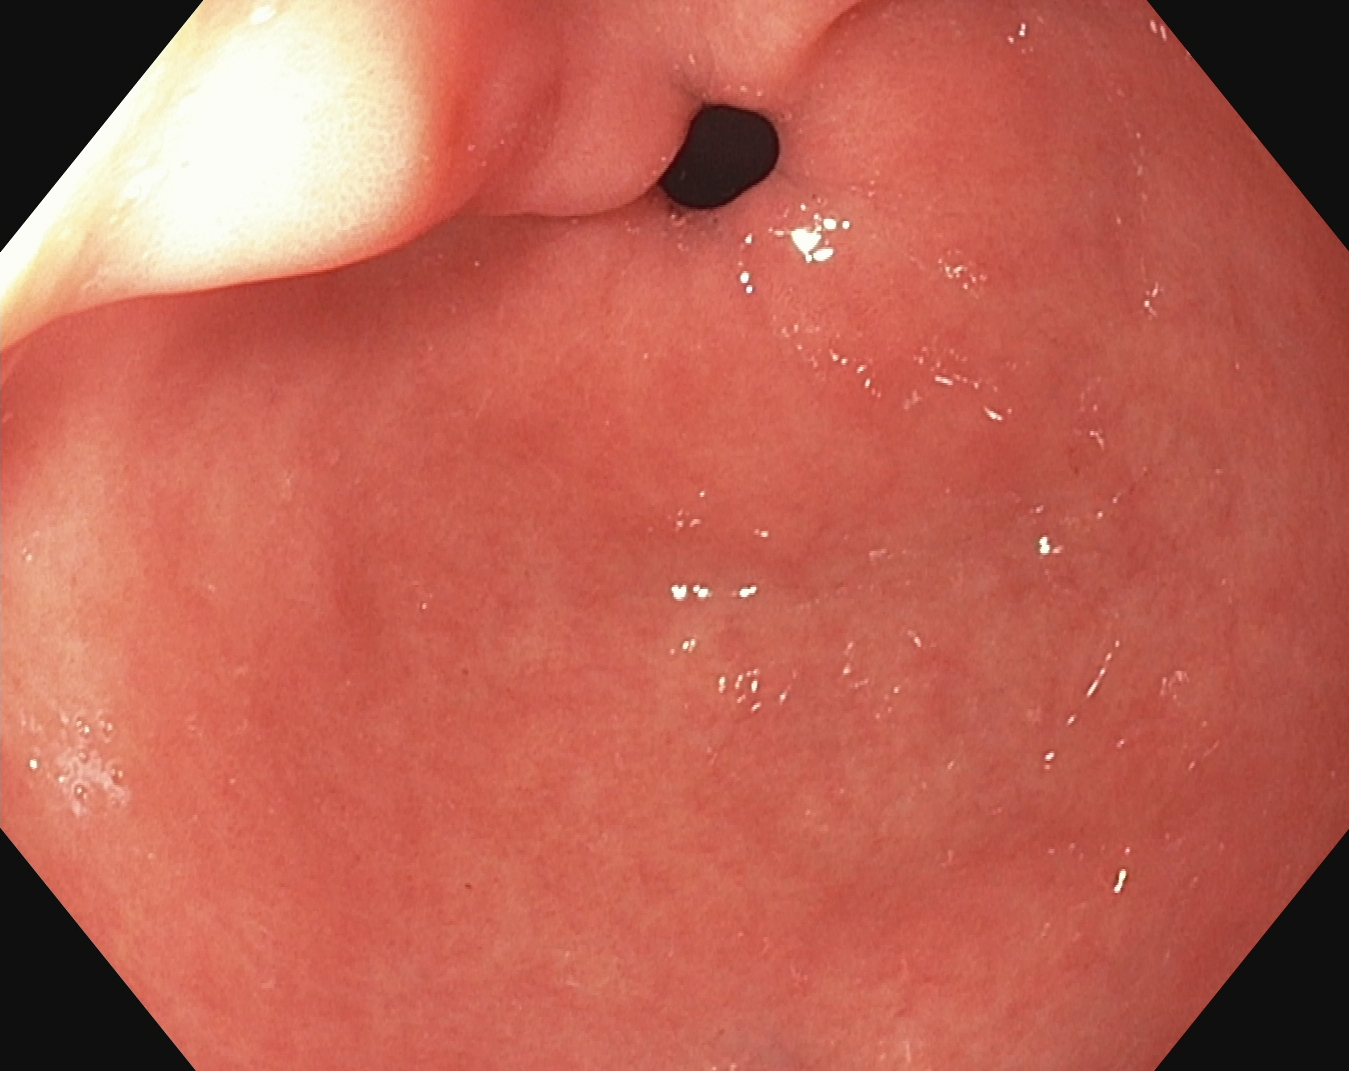modality: EGD | tract: upper GI tract | finding: pylorus